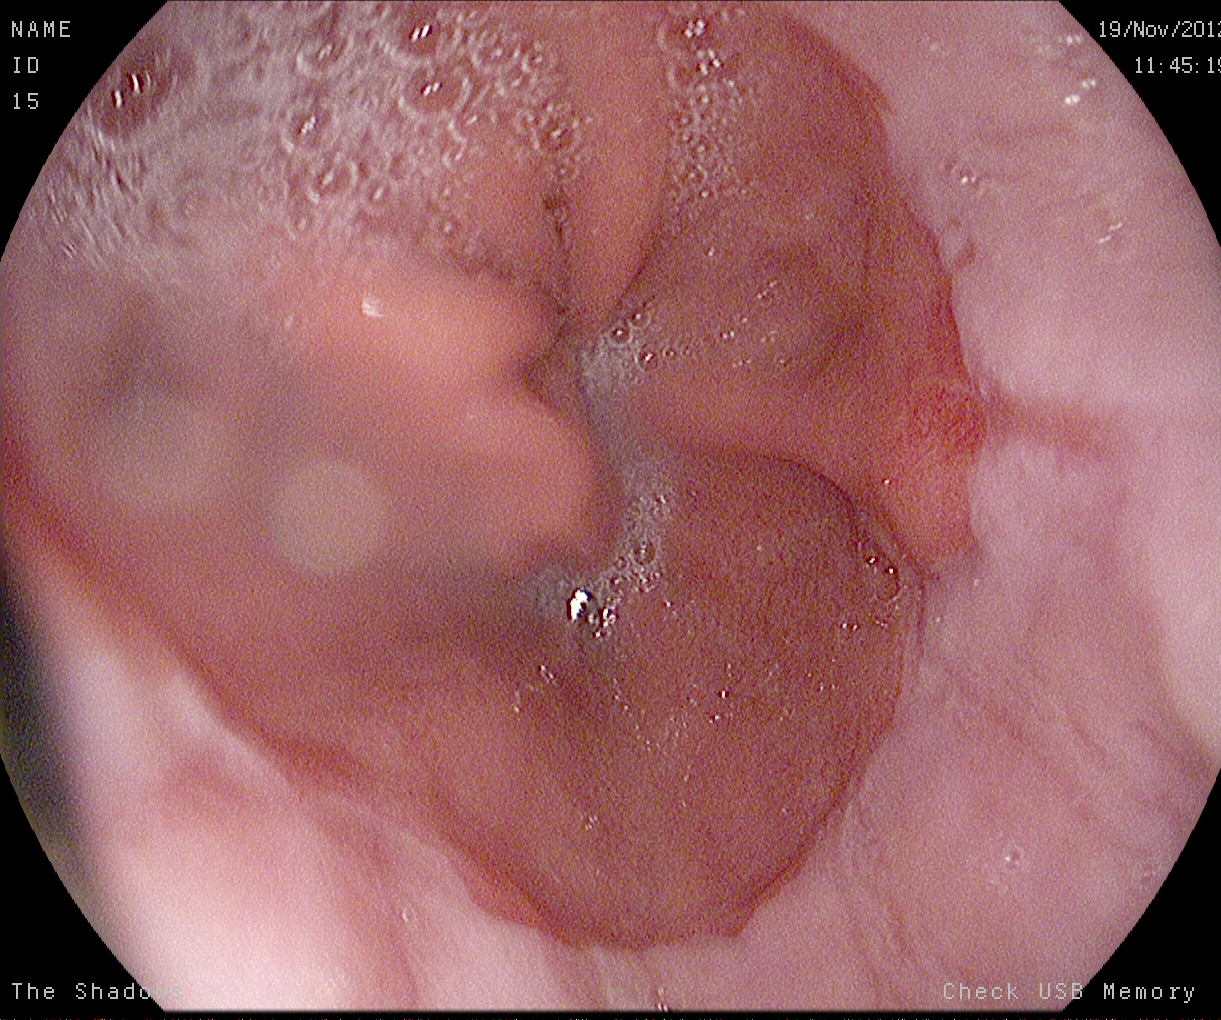Reflux esophagitis, Los Angeles grade A.